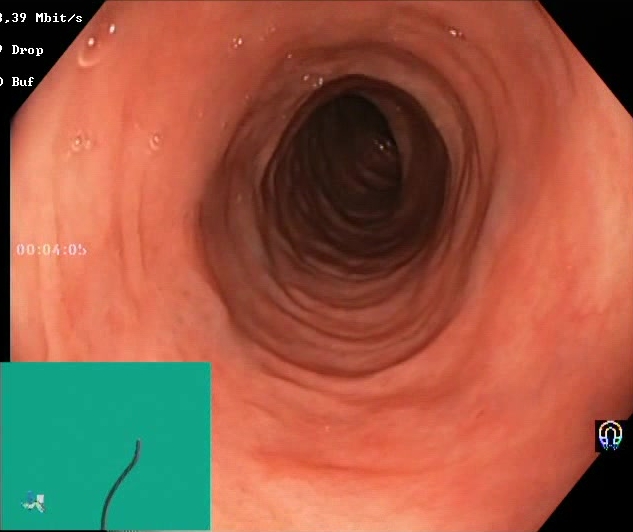PROCEDURE: Colonoscopy.
FINDINGS: Boston Bowel Preparation Scale score 2–3 (adequate preparation).